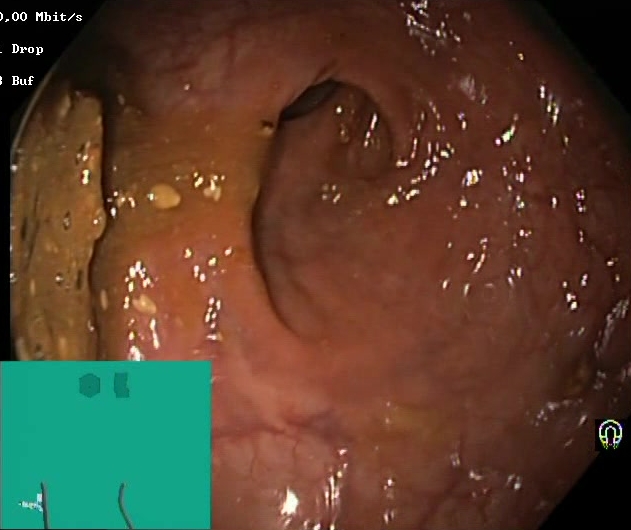GI endoscopy image of the lower GI tract showing Boston Bowel Preparation Scale score 0–1 (inadequate preparation).